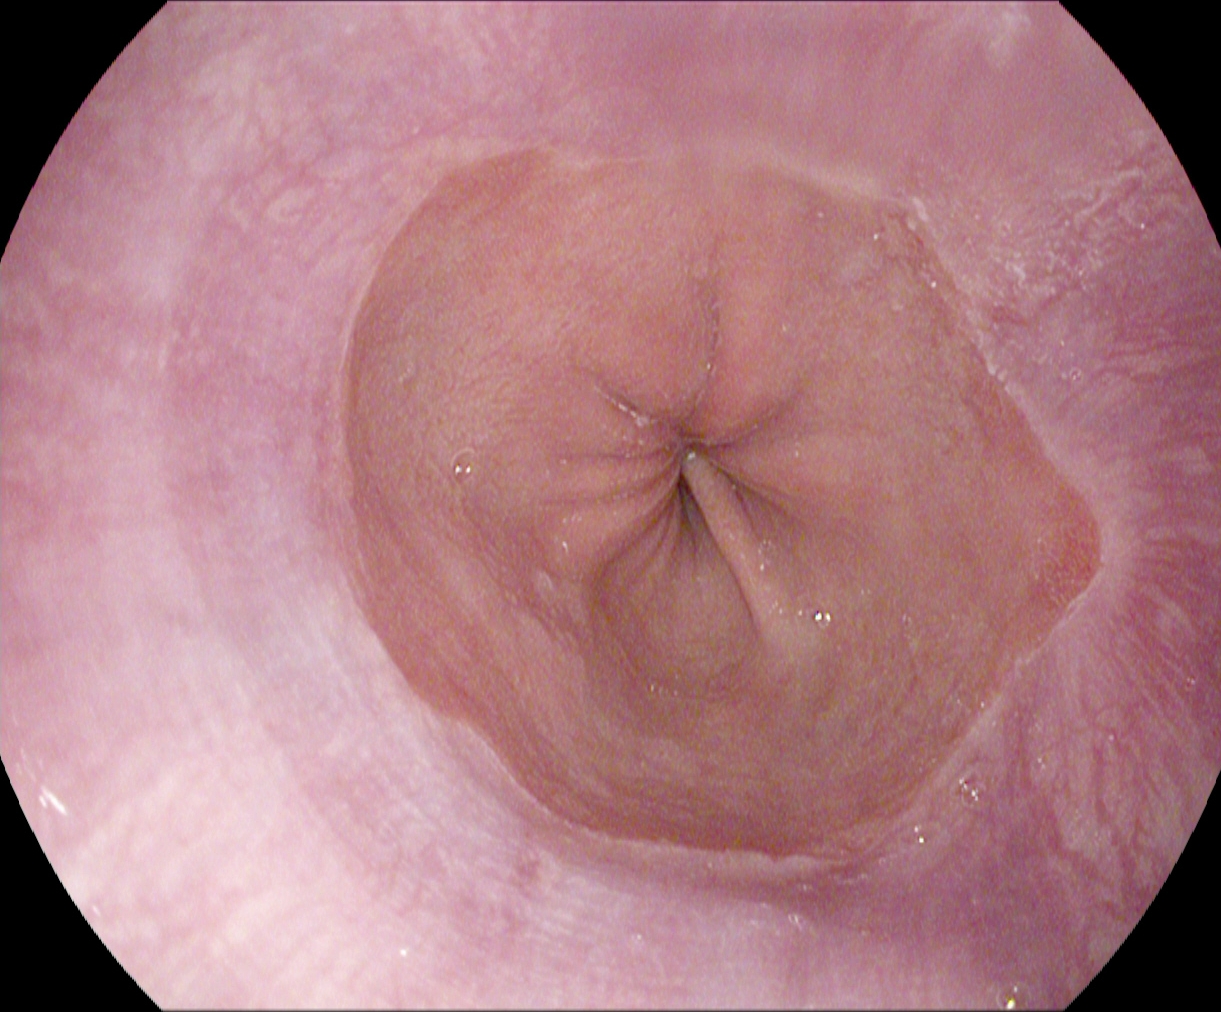EGD. Tract: upper GI tract. Anatomical landmark. Finding: Z-line (gastroesophageal junction).